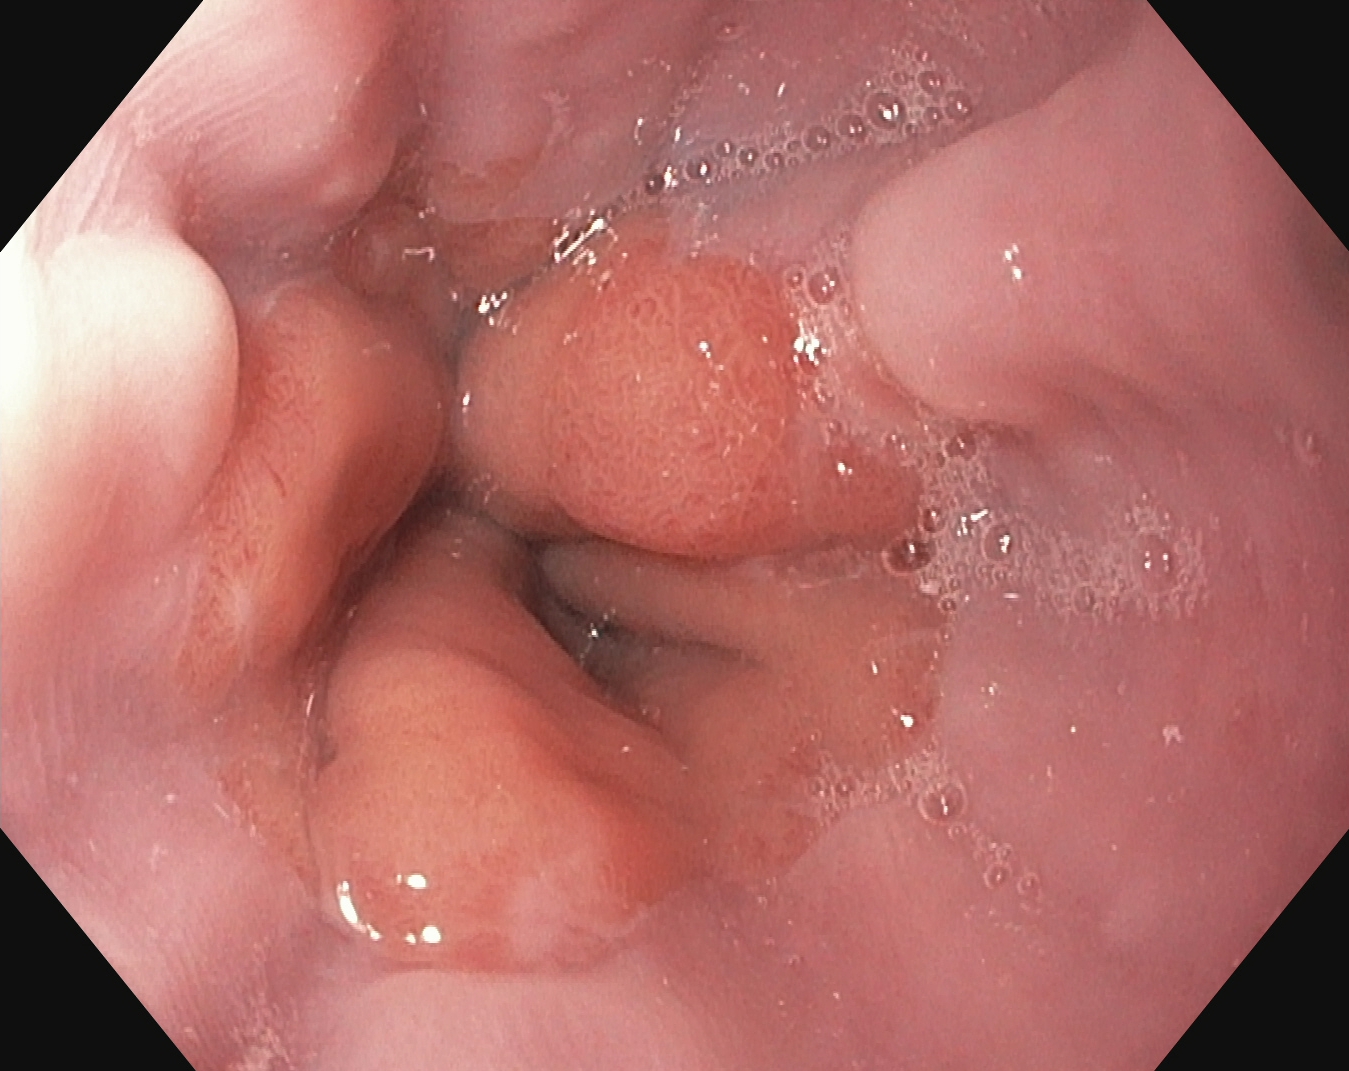EGD — Z-line (gastroesophageal junction).